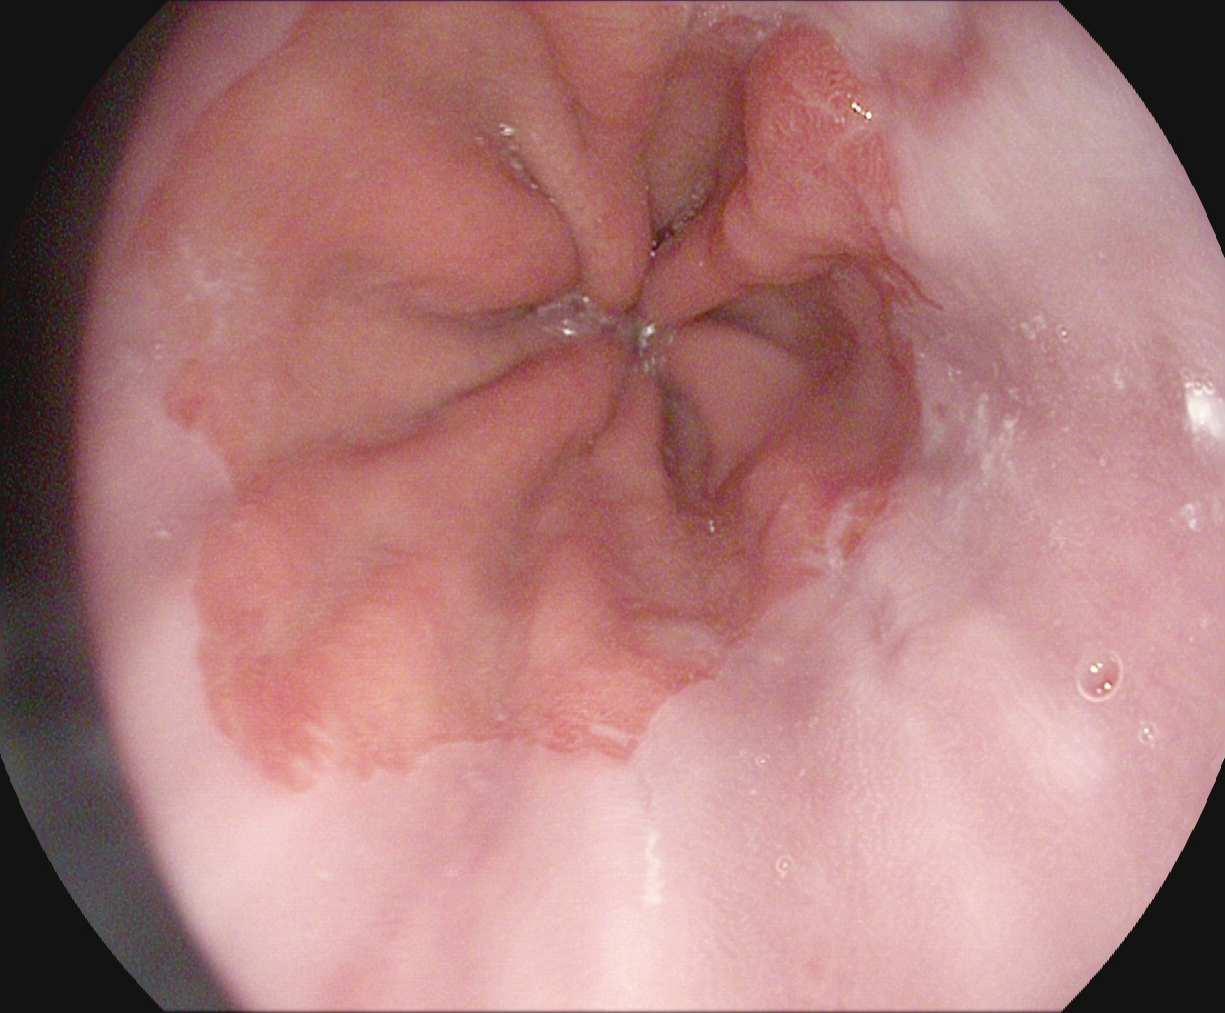Reflux esophagitis, LA grade A.